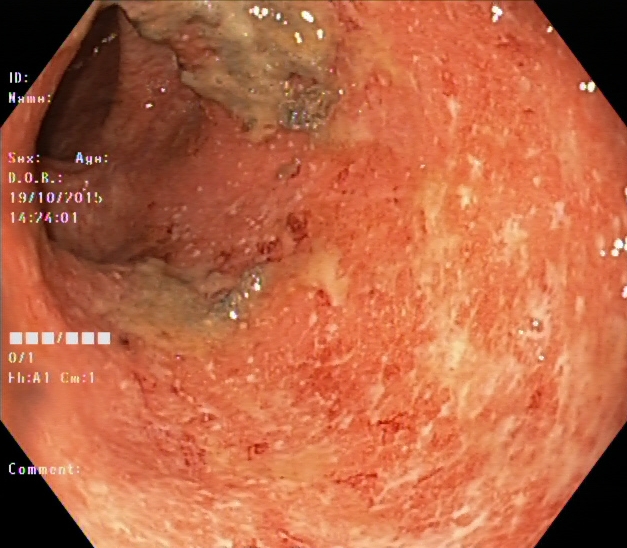modality: colonoscopy
finding: UC, Mayo endoscopic subscore 2